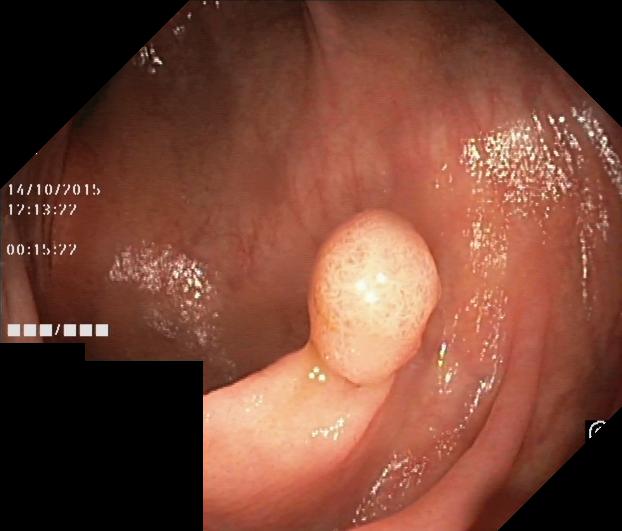Colorectal polyp(s).